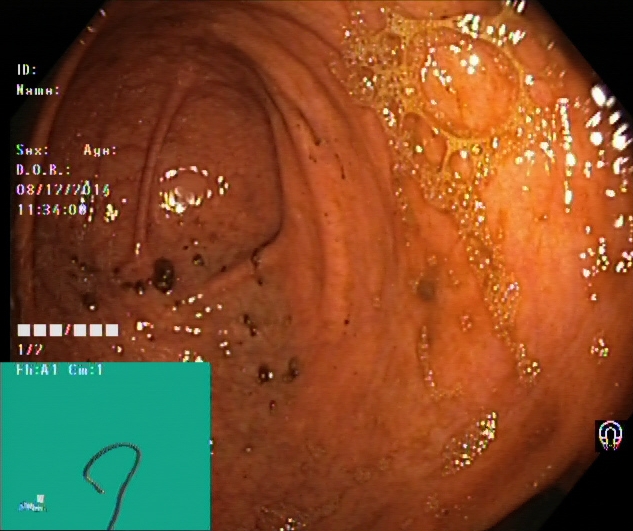This endoscopic image of the lower GI tract shows cecum.